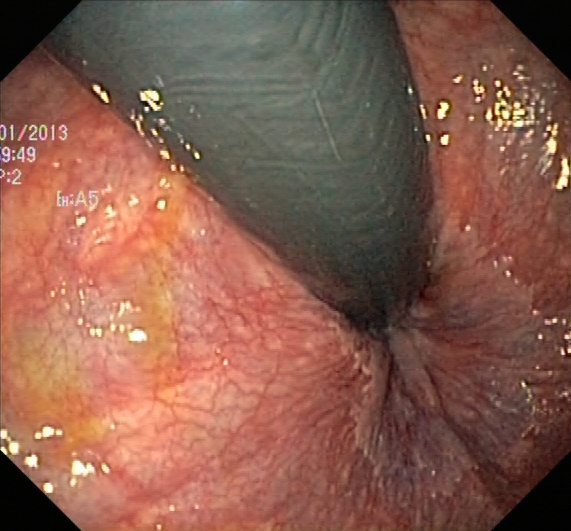This endoscopic image of the lower GI tract shows rectum in retroflexion.